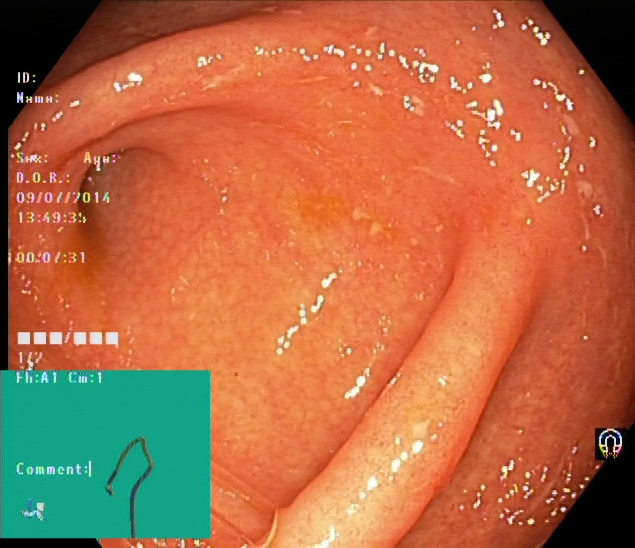Lower-GI endoscopy — cecum.